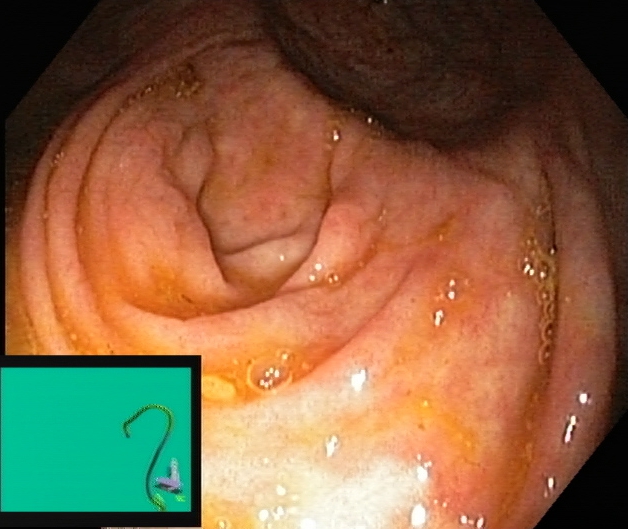Colonoscopy image of the lower GI tract showing cecum.